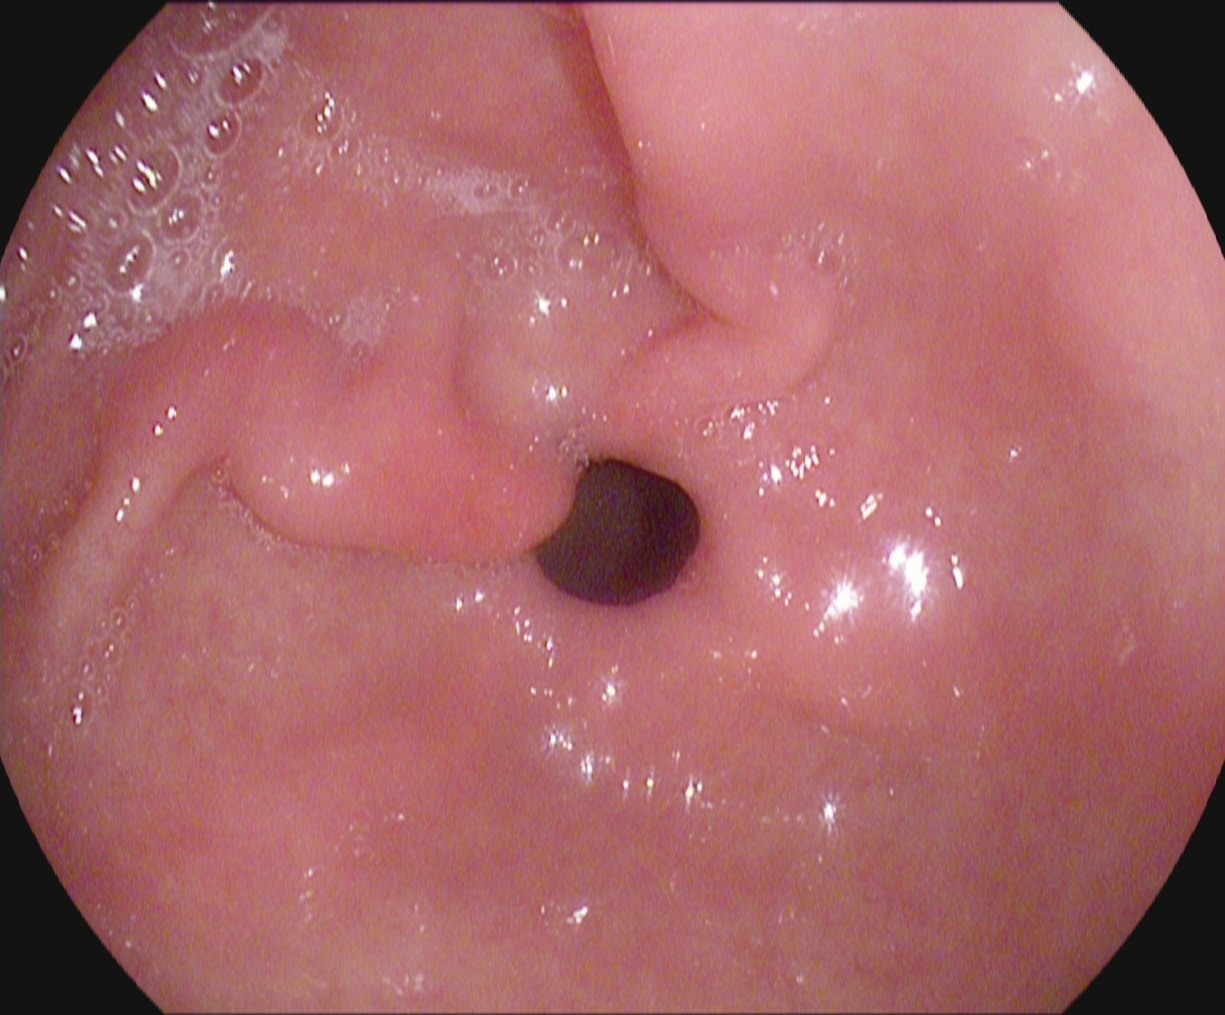GI endoscopy image of the upper GI tract showing pylorus.